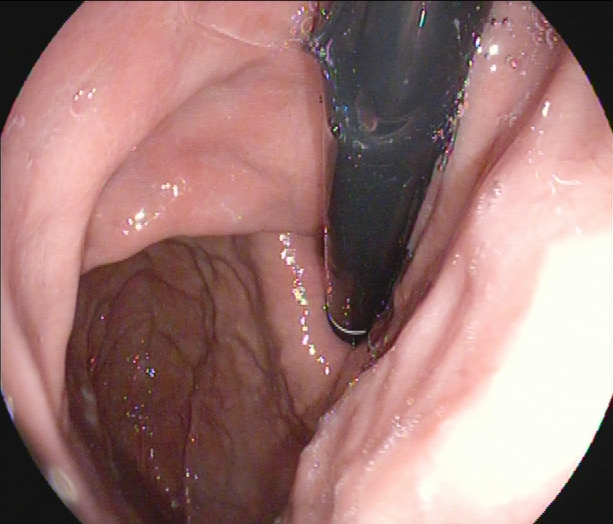modality: upper-GI endoscopy; tract: upper GI tract; category: anatomical landmark; finding: stomach in retroflexion